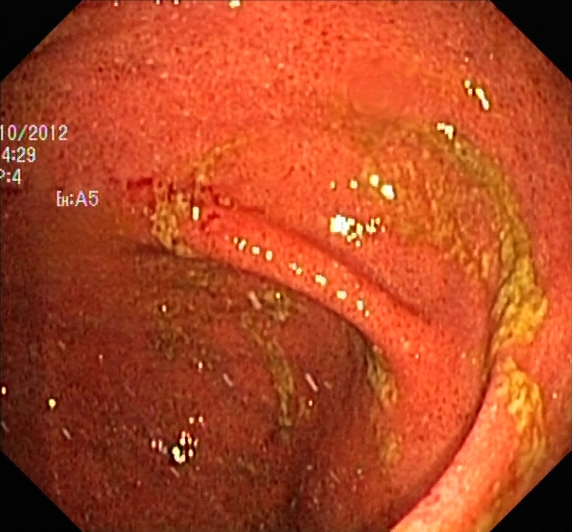{"modality": "lower-GI endoscopy", "tract": "lower GI tract", "finding": "UC, Mayo endoscopic subscore 2"}